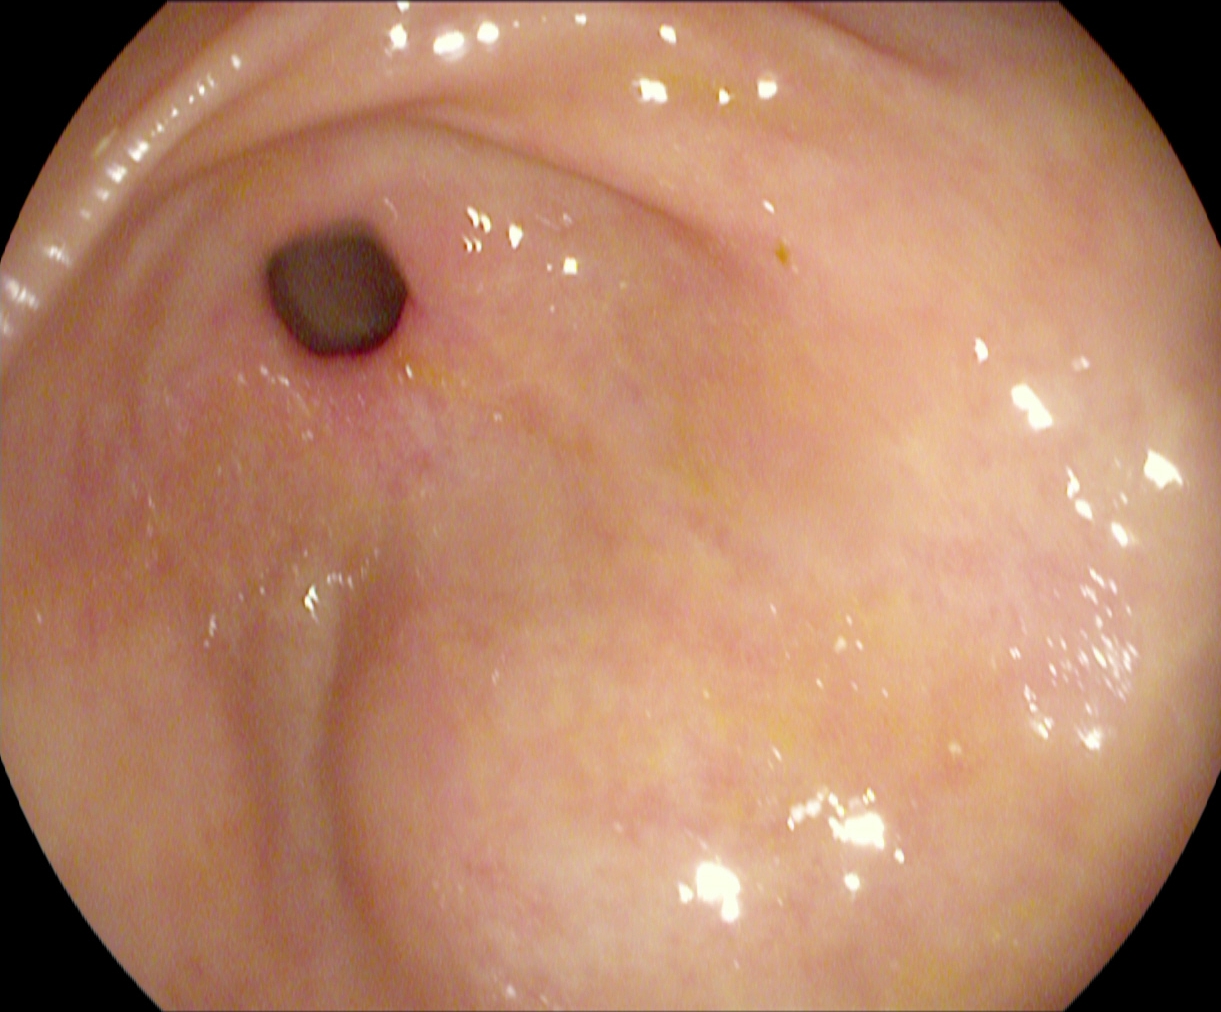PROCEDURE: EGD.
CATEGORY: Anatomical landmark.
FINDINGS: Pylorus.